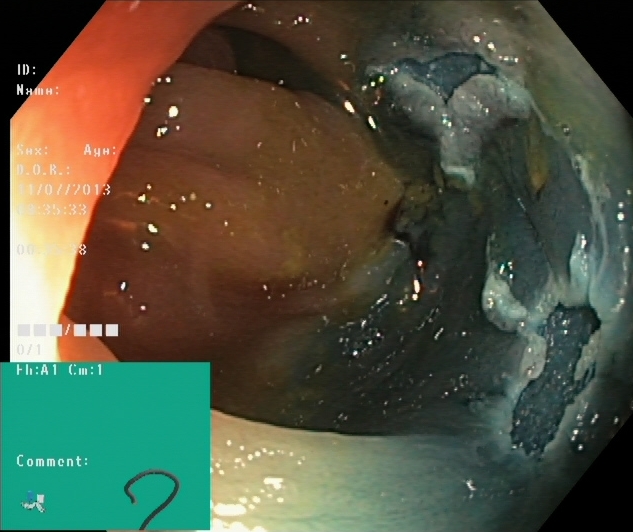Lower-GI endoscopy — dyed resection margins (post-polypectomy).